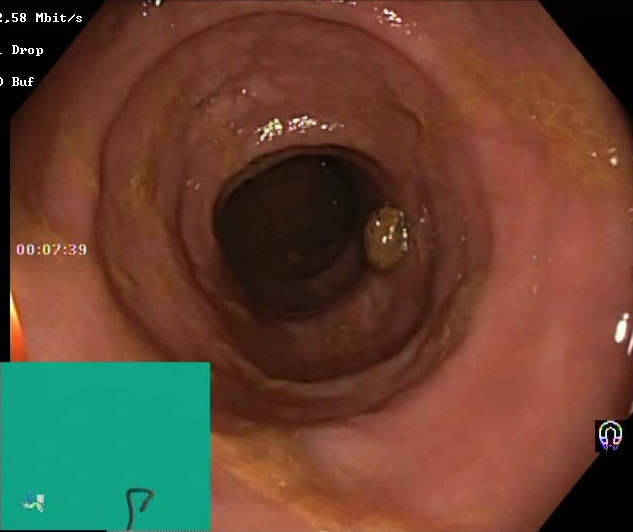Boston Bowel Preparation Scale score 2–3 (adequate preparation).